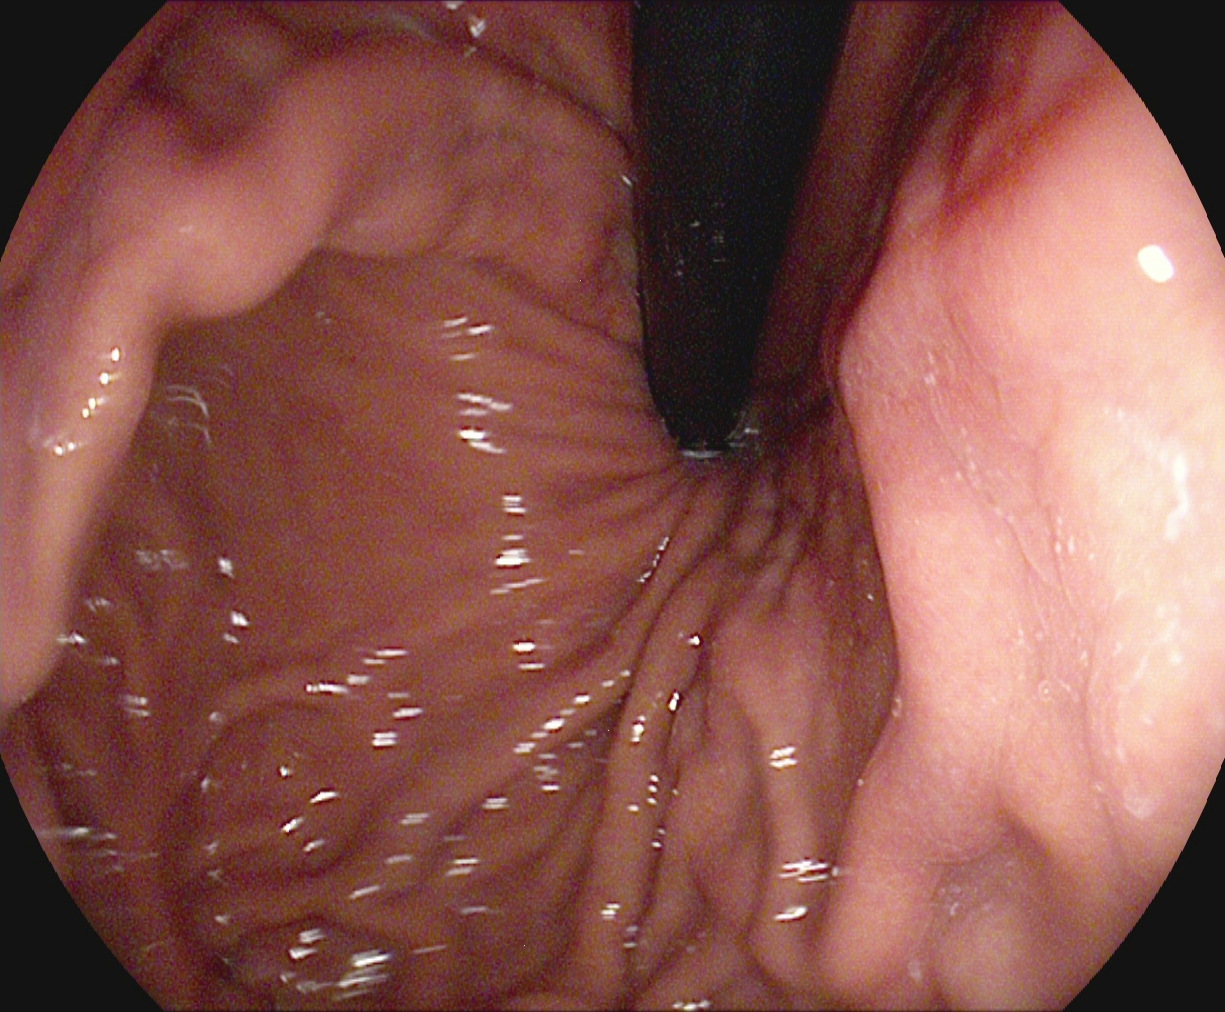EGD image showing stomach in retroflexion.